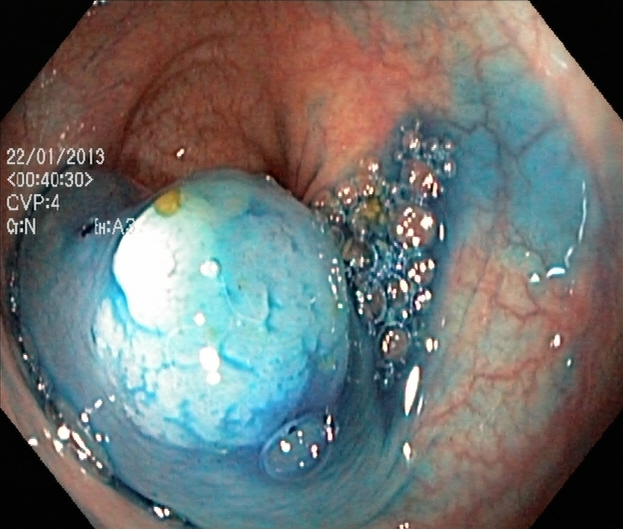GI endoscopy image of the lower GI tract showing dyed and lifted polyp (pre-resection).